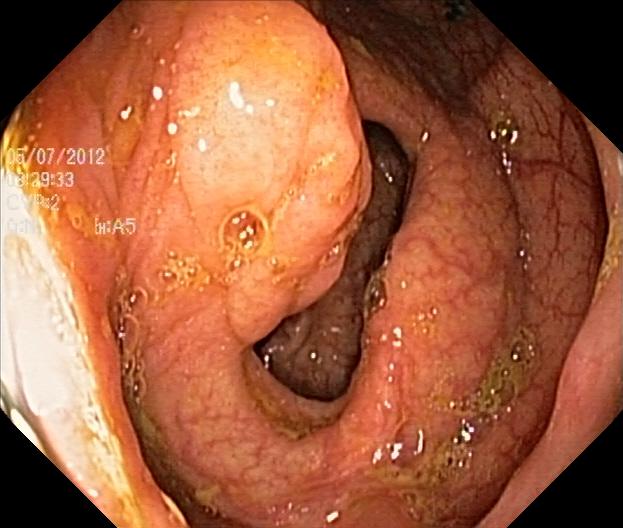Colorectal polyp(s).